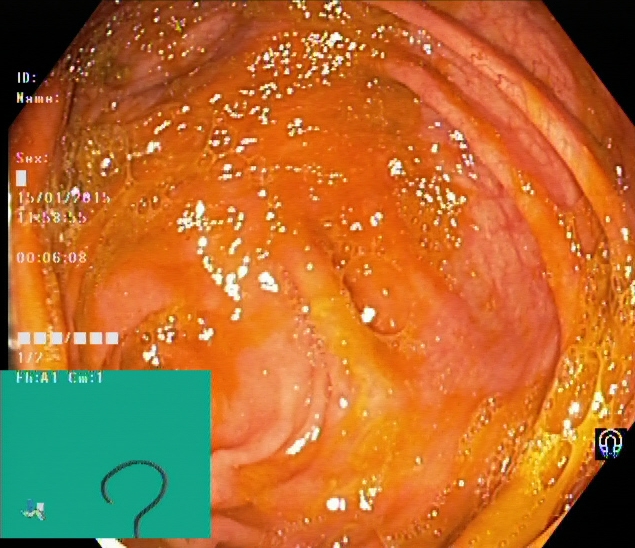PROCEDURE: Lower gastrointestinal endoscopy.
CATEGORY: Anatomical landmark.
FINDINGS: Cecum.